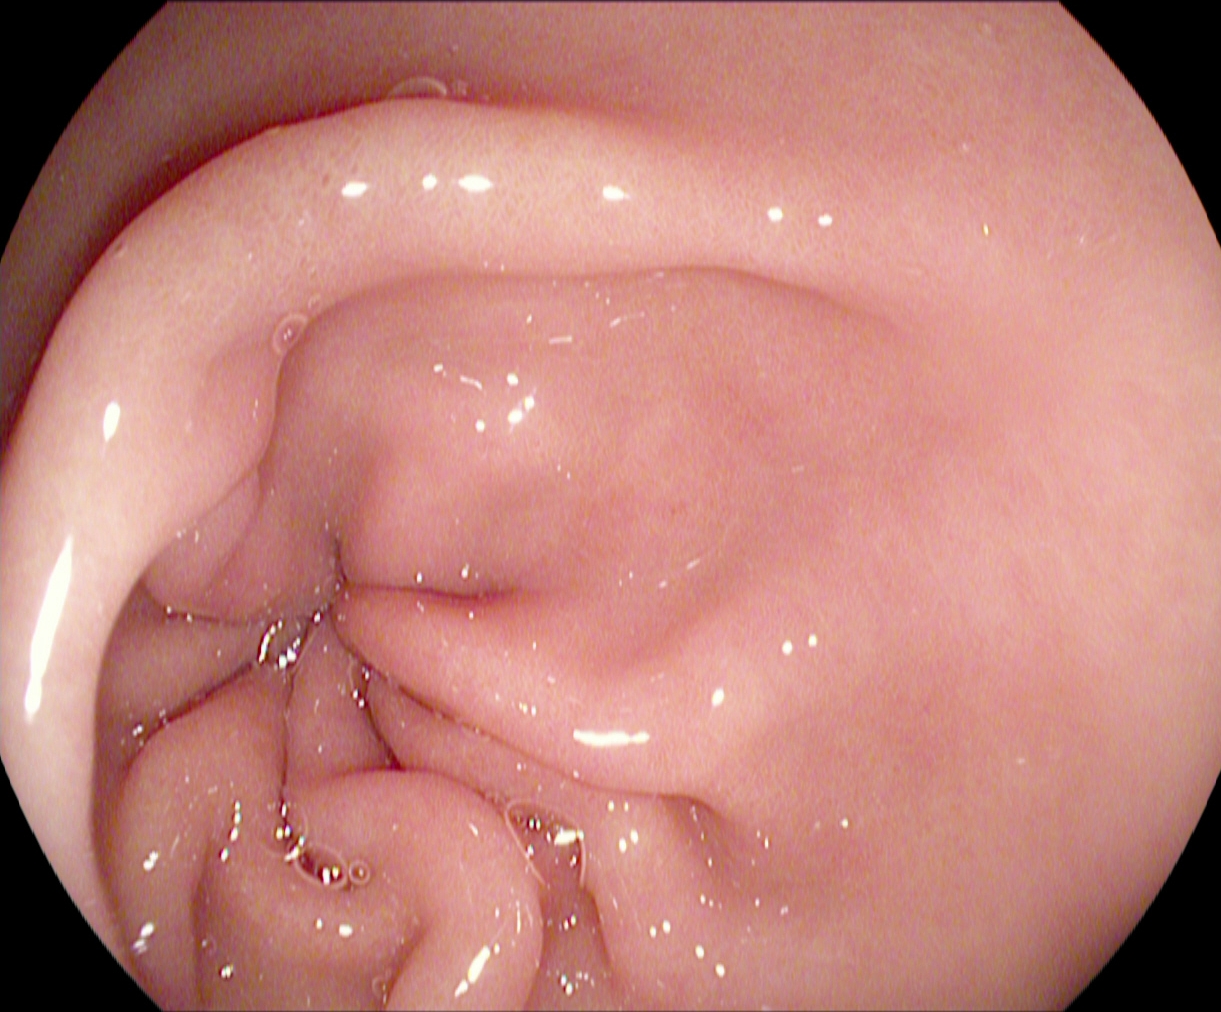PROCEDURE: Gastroscopy.
FINDINGS: Pylorus.